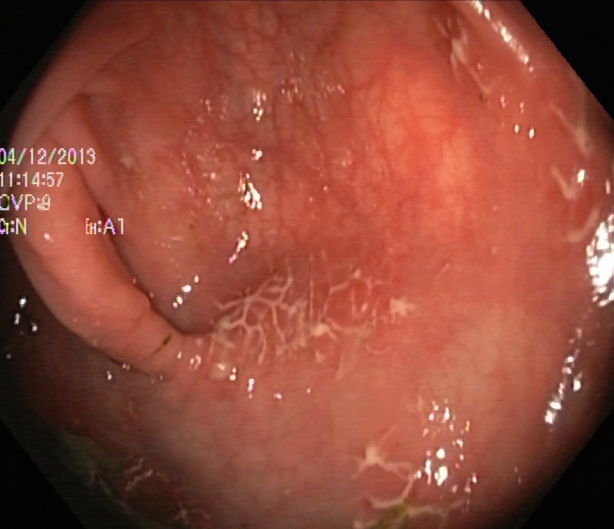PROCEDURE: Colonoscopy.
CATEGORY: Pathological finding.
FINDINGS: Ulcerative colitis, Mayo endoscopic subscore 1.